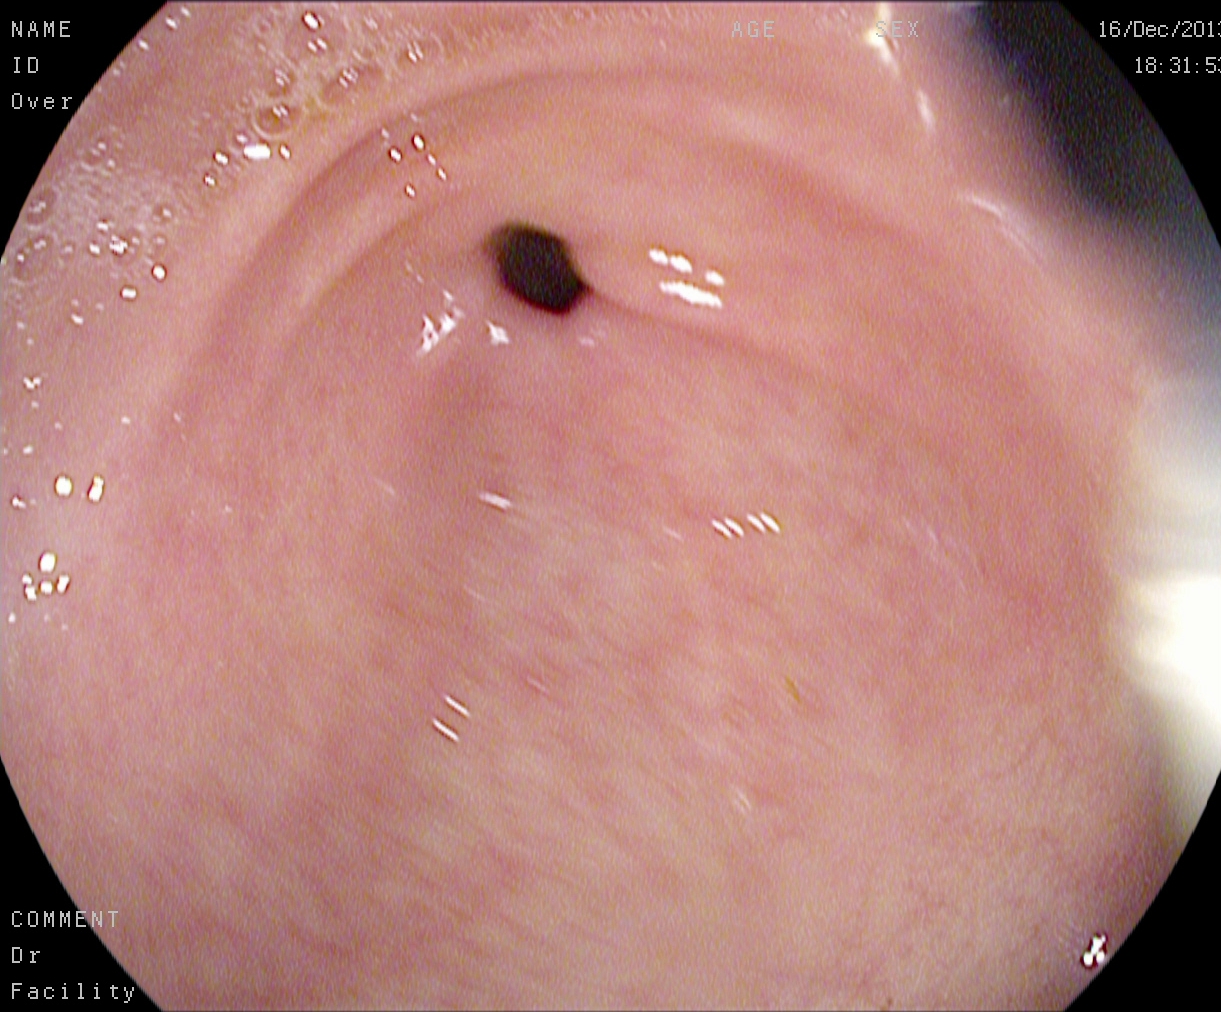EGD — pylorus.